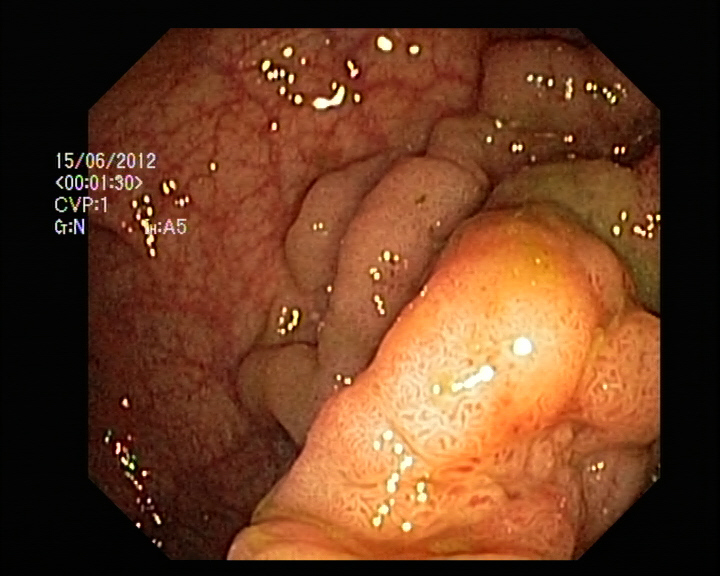PROCEDURE: Colonoscopy.
FINDINGS: Colorectal polyp(s).